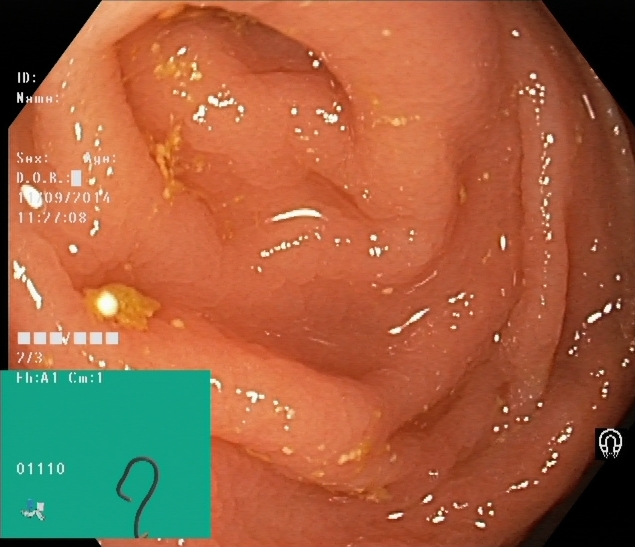PROCEDURE: Colonoscopy.
CATEGORY: Anatomical landmark.
FINDINGS: Cecum.